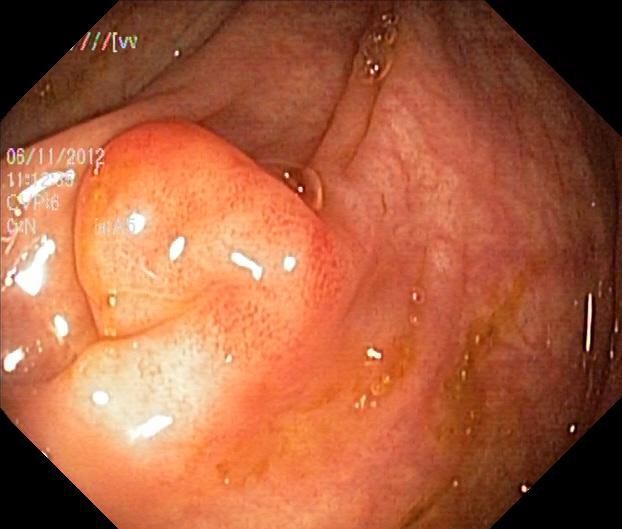PROCEDURE: Lower gastrointestinal endoscopy.
FINDINGS: Colorectal polyp(s).